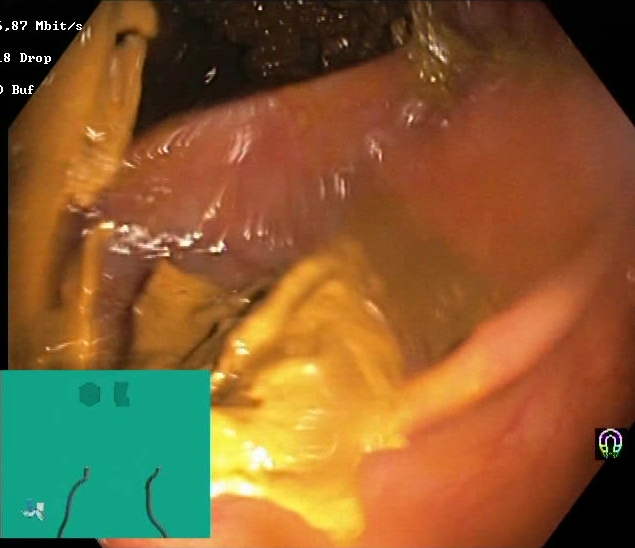PROCEDURE: Lower-GI endoscopy.
FINDINGS: Boston Bowel Preparation Scale score 0–1 (inadequate preparation).